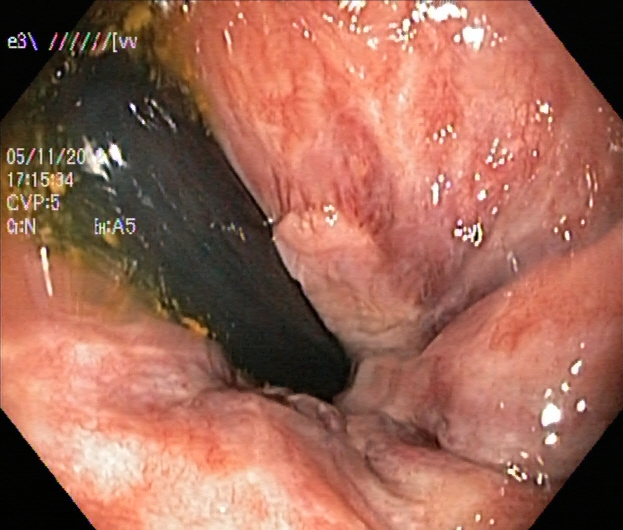PROCEDURE: Lower gastrointestinal endoscopy.
FINDINGS: Rectum in retroflexion.